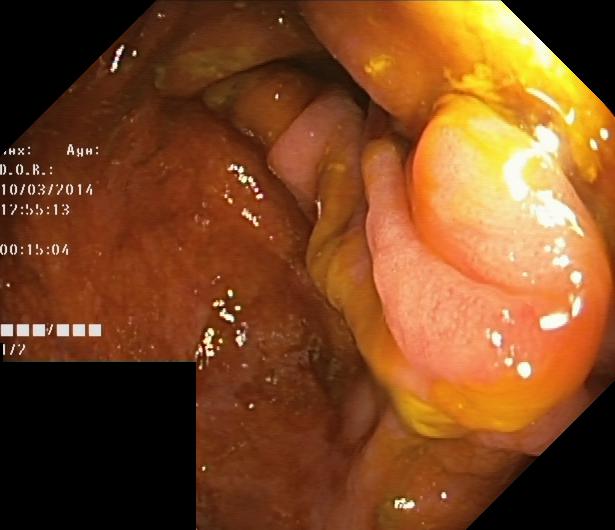colorectal polyp(s).